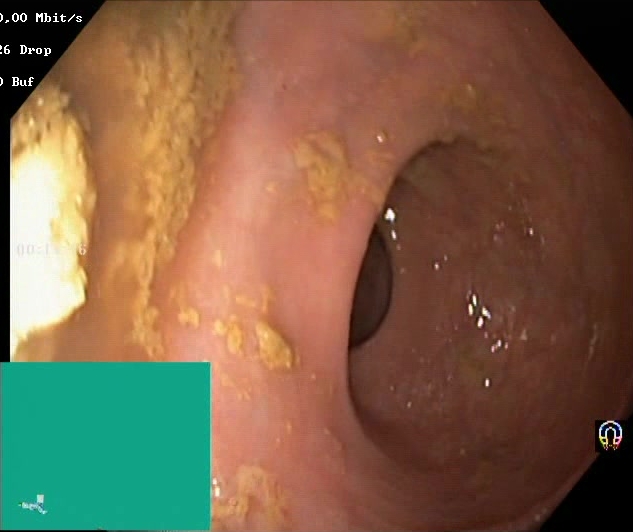BBPS score 0–1 (inadequate preparation).